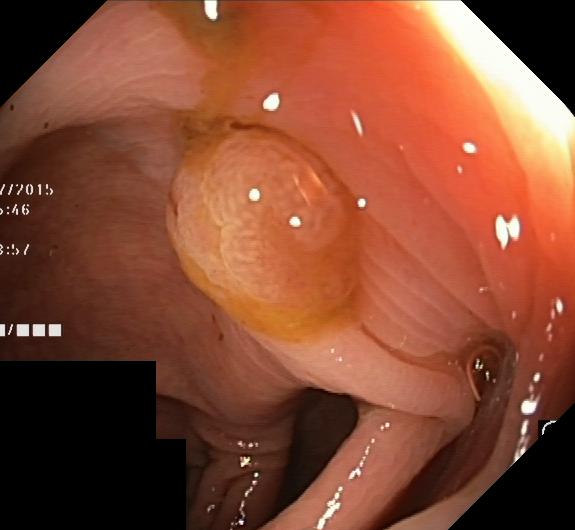Colorectal polyp(s).